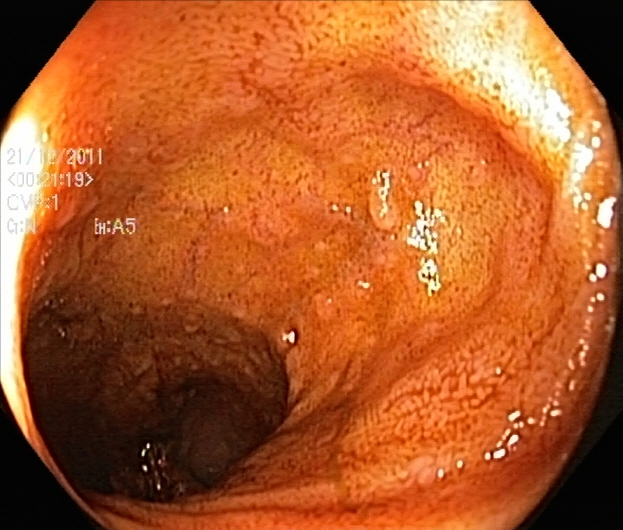Ulcerative colitis, Mayo endoscopic subscore 2.